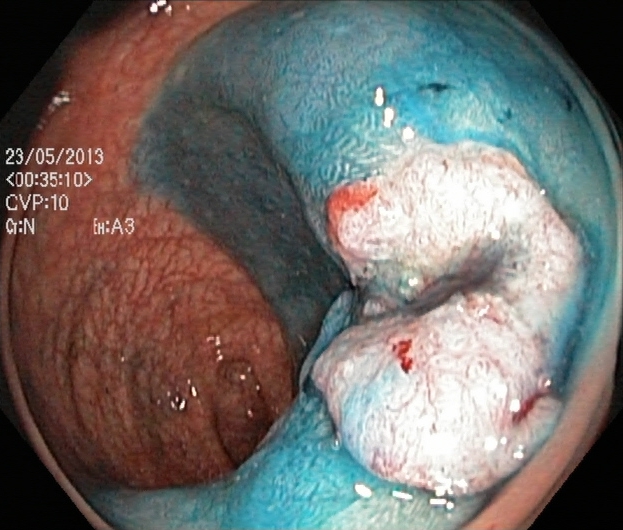PROCEDURE: Colonoscopy.
CATEGORY: Therapeutic intervention.
FINDINGS: Dyed and lifted polyp (pre-resection).